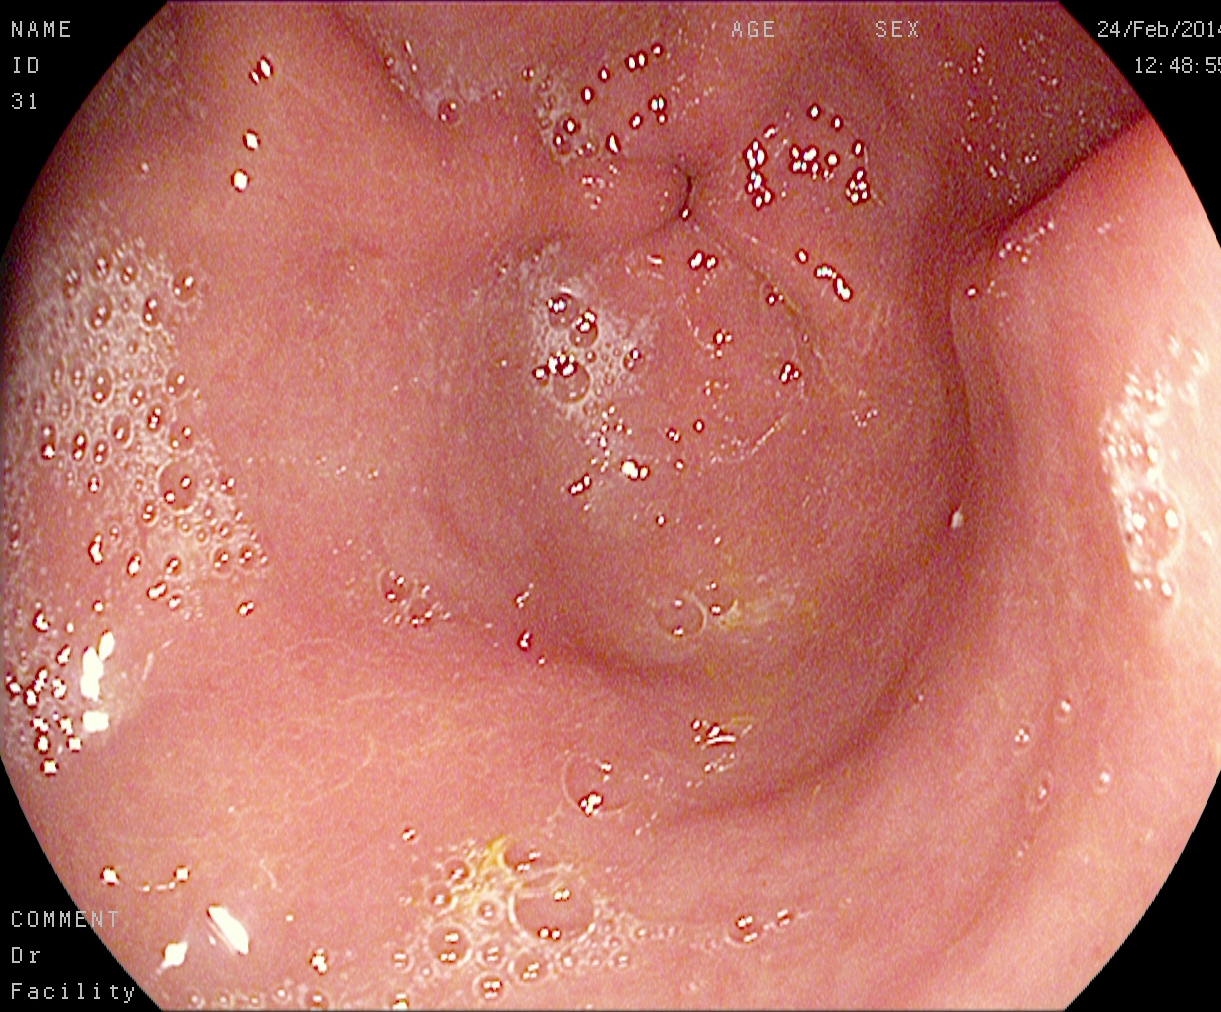Upper-GI endoscopy — pylorus.